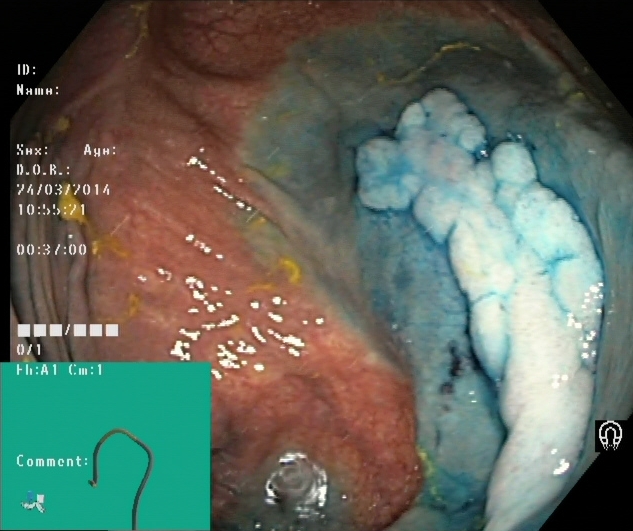dyed and lifted polyp (pre-resection).